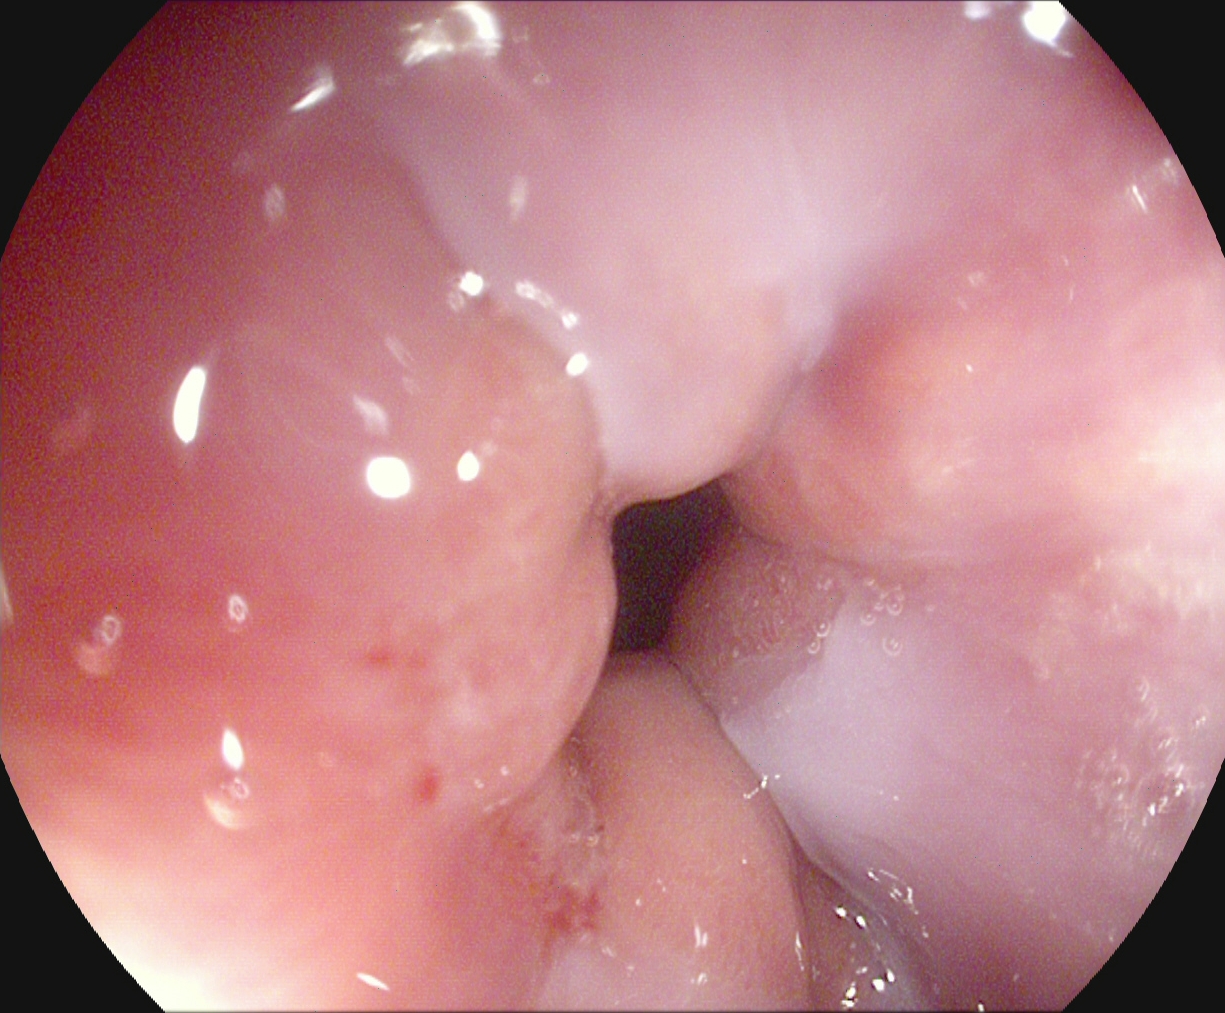Z-line (gastroesophageal junction).